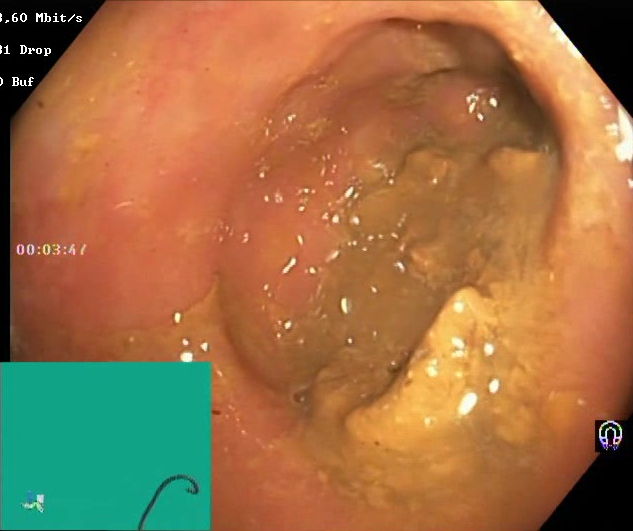GI endoscopy image showing Boston Bowel Preparation Scale score 0–1 (inadequate preparation).